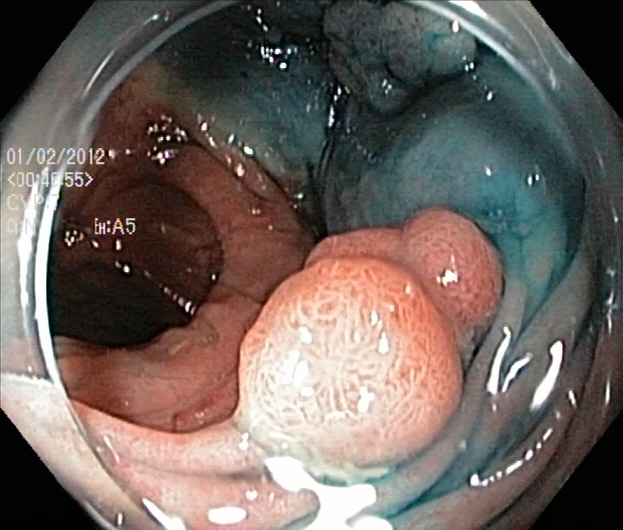modality: lower gastrointestinal endoscopy; category: therapeutic intervention; finding: dyed and lifted polyp (pre-resection)